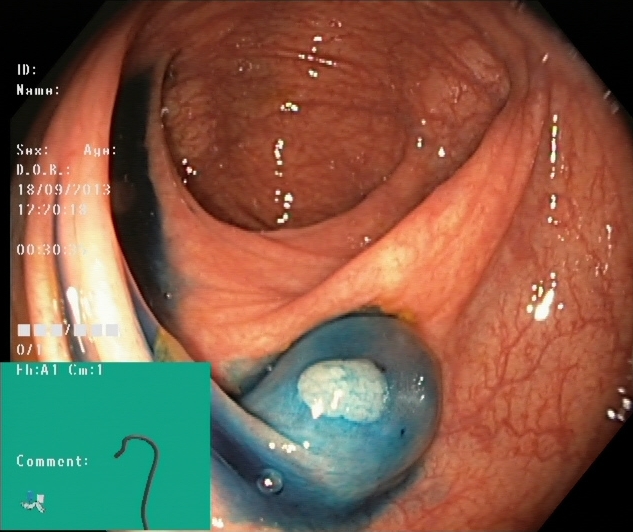Colonoscopy. Tract: lower GI tract. Finding: dyed and lifted polyp (pre-resection).